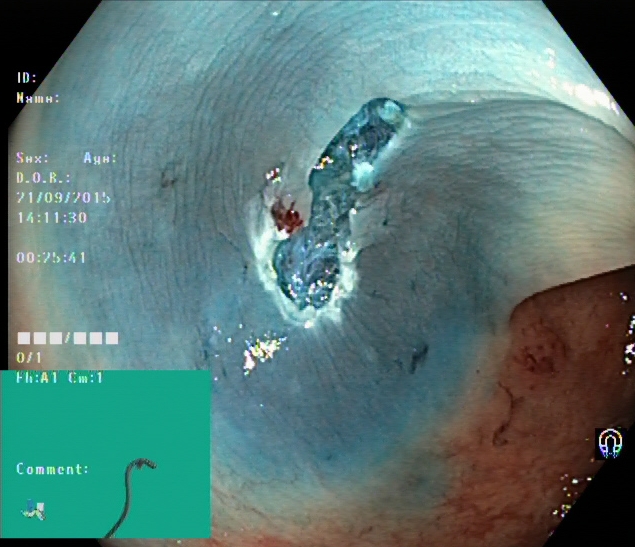PROCEDURE: Lower gastrointestinal endoscopy.
CATEGORY: Therapeutic intervention.
FINDINGS: Dyed resection margins (post-polypectomy).